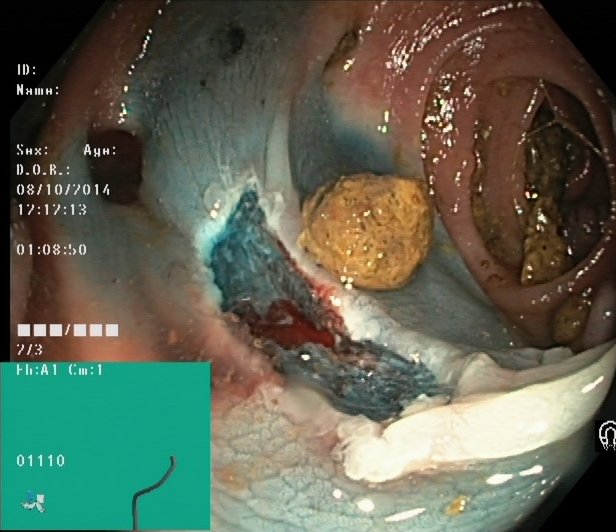{"modality": "colonoscopy", "category": "therapeutic intervention", "finding": "dyed resection margins (post-polypectomy)"}